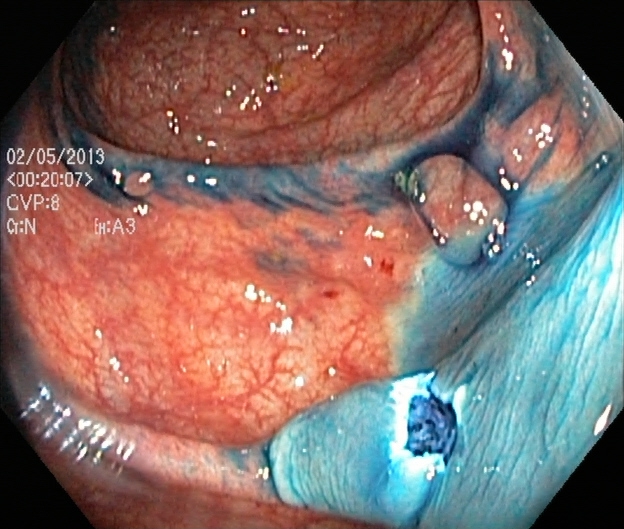modality: colonoscopy | tract: lower GI tract | finding: dyed resection margins (post-polypectomy)